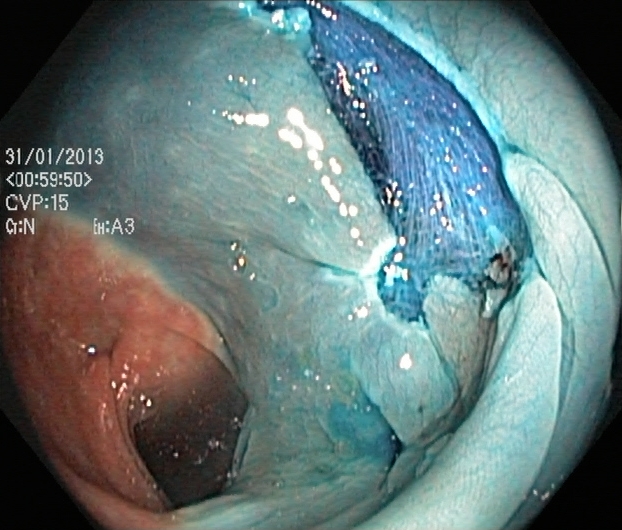Dyed resection margins (post-polypectomy).